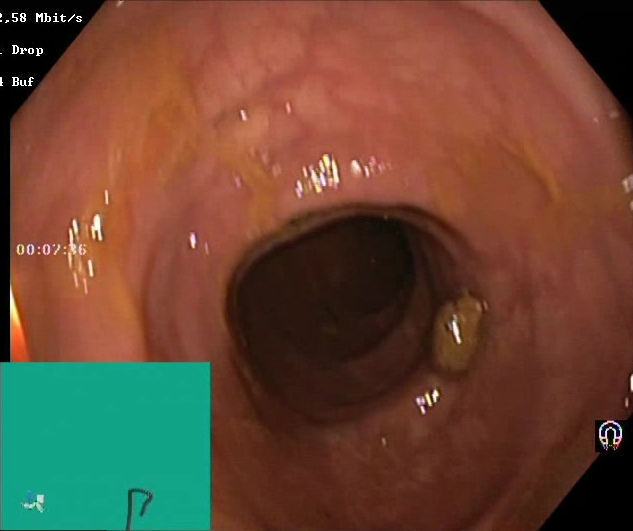Lower gastrointestinal endoscopy. Tract: lower GI tract. Finding: Boston Bowel Preparation Scale score 2–3 (adequate preparation).